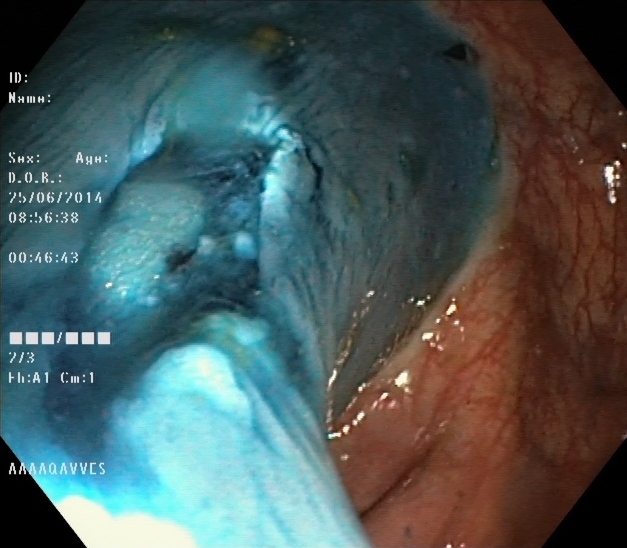modality: lower gastrointestinal endoscopy
finding: dyed resection margins (post-polypectomy)